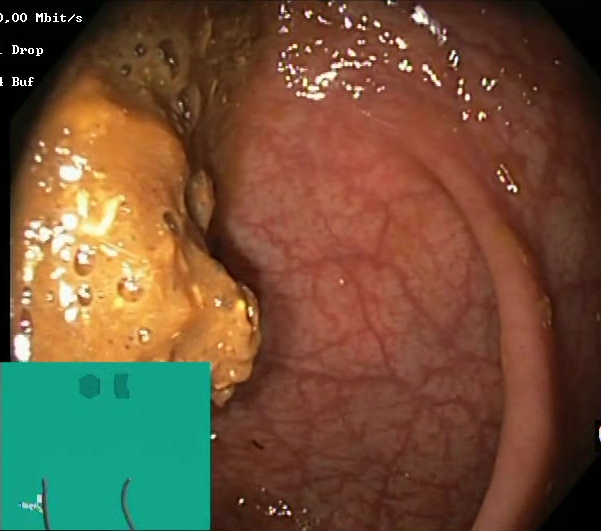Colonoscopy image of the lower GI tract showing Boston Bowel Preparation Scale score 0–1 (inadequate preparation).